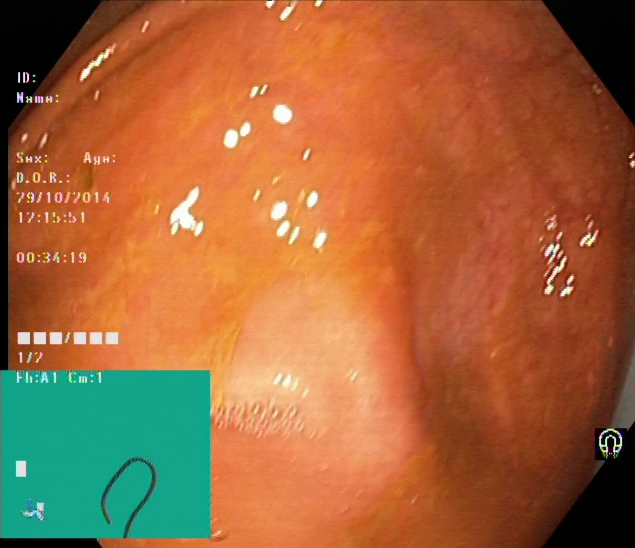Cecum.